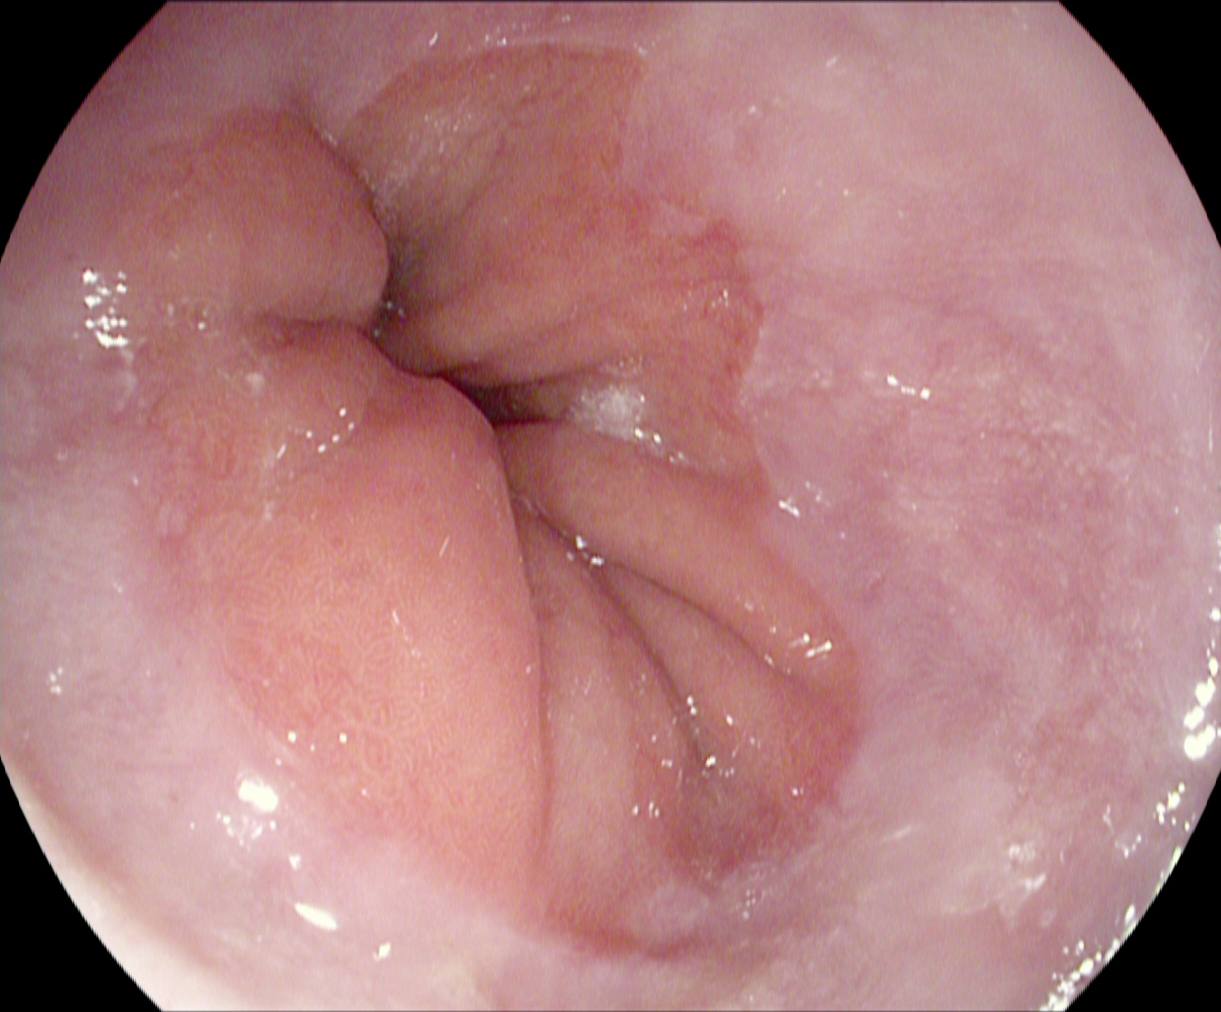PROCEDURE: Upper-GI endoscopy.
CATEGORY: Anatomical landmark.
FINDINGS: Z-line (gastroesophageal junction).